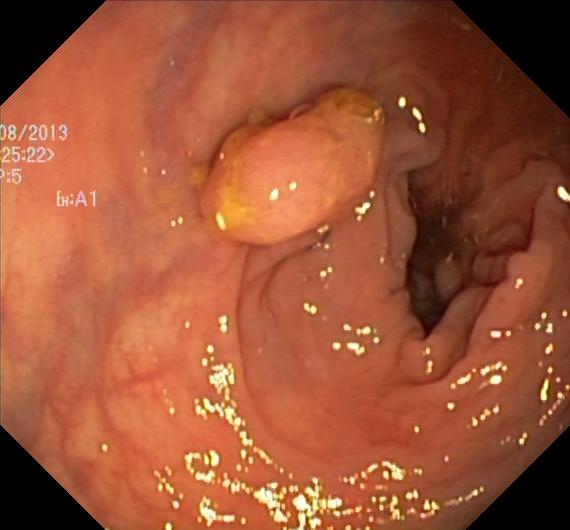PROCEDURE: Lower gastrointestinal endoscopy.
FINDINGS: Colorectal polyp(s).